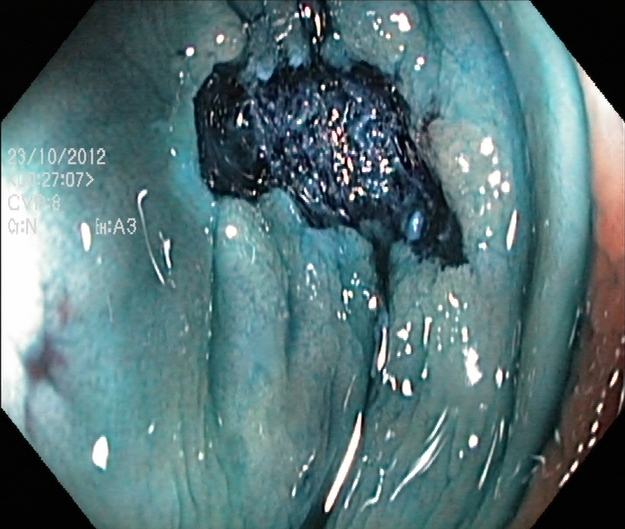PROCEDURE: Colonoscopy.
CATEGORY: Therapeutic intervention.
FINDINGS: Dyed resection margins (post-polypectomy).